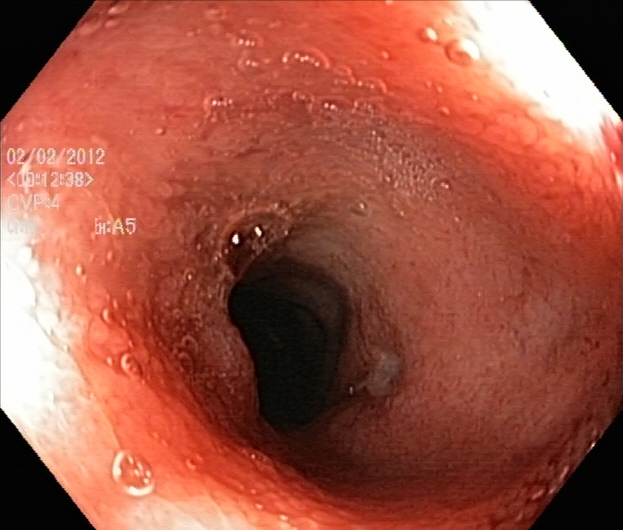Lower gastrointestinal endoscopy. Tract: lower GI tract. Finding: ulcerative colitis, Mayo endoscopic subscore 2.